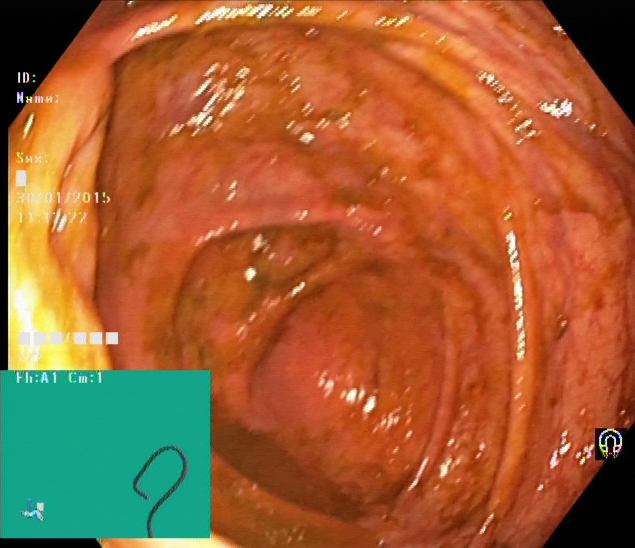modality: lower-GI endoscopy | tract: lower GI tract | finding: cecum